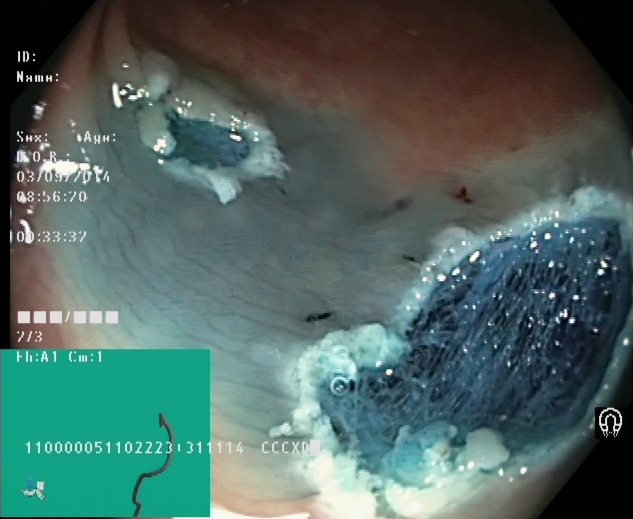GI endoscopy image of the lower GI tract showing dyed resection margins (post-polypectomy).